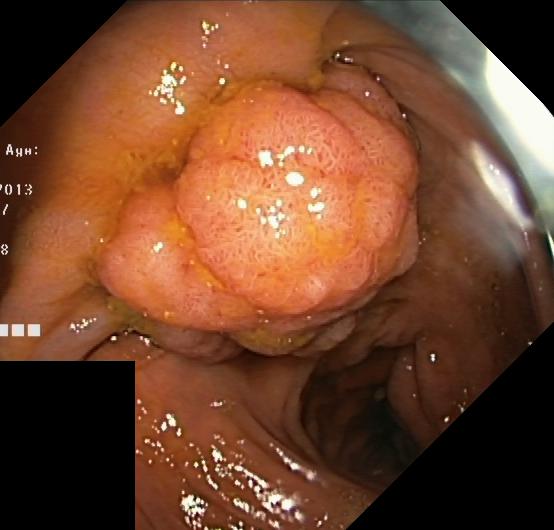This endoscopy frame of the lower GI tract shows colorectal polyp(s).